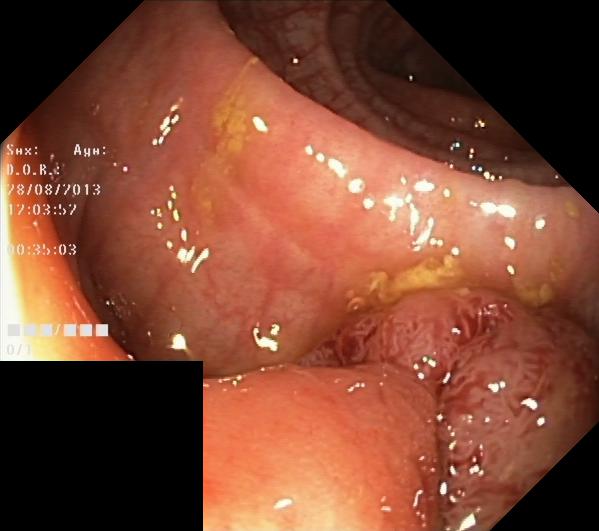Lower-GI endoscopy — colorectal polyp(s).